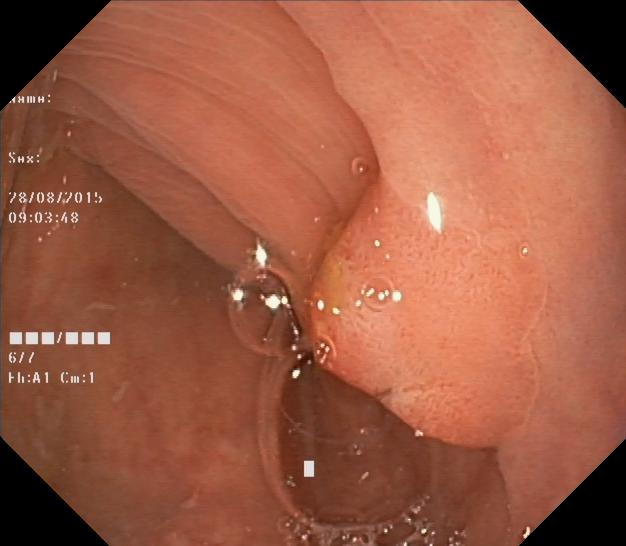Colorectal polyp(s).